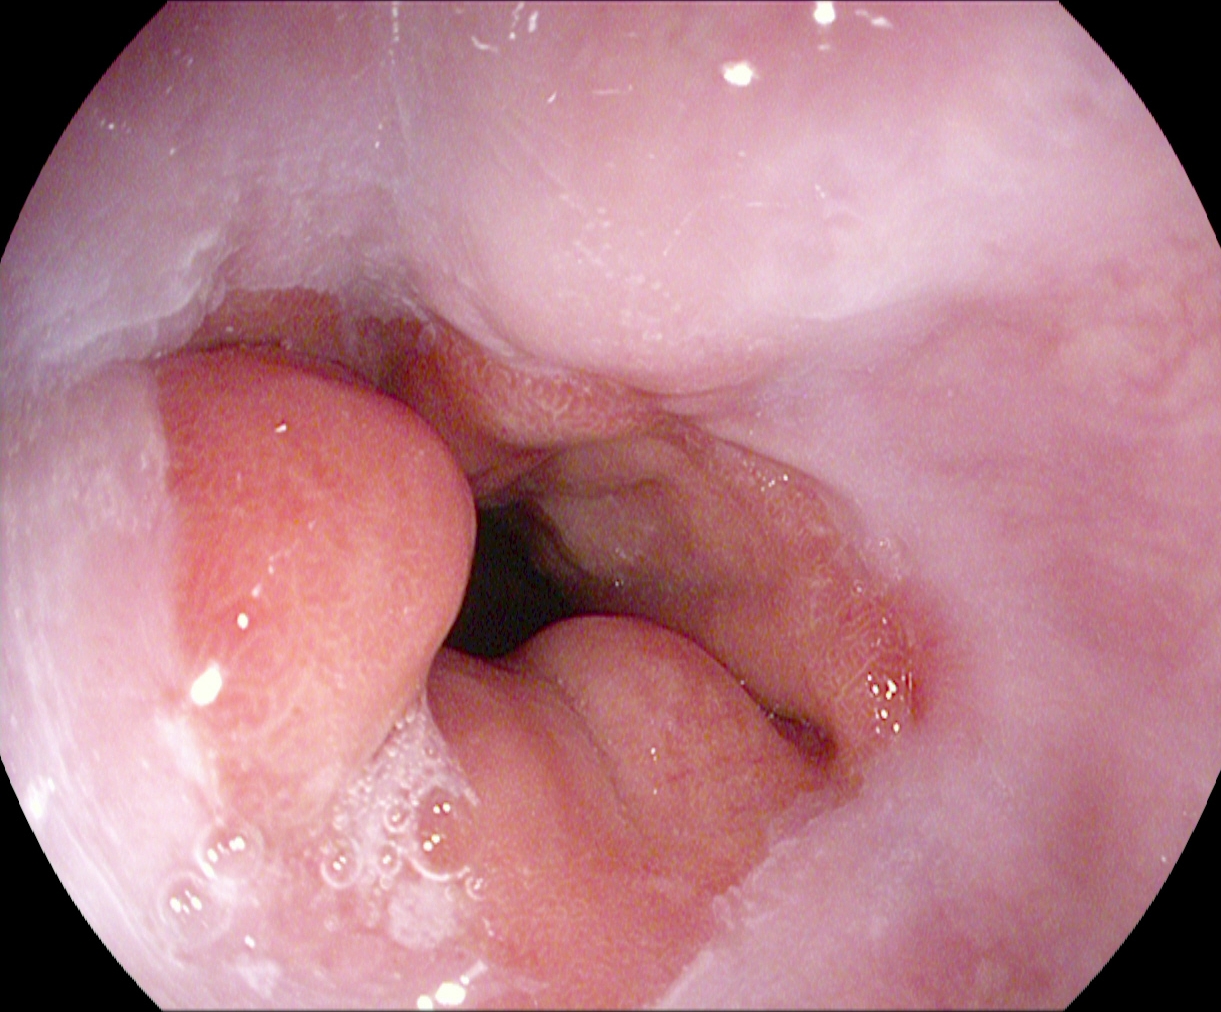Endoscopic frame of the upper GI tract showing reflux esophagitis, Los Angeles grade A.